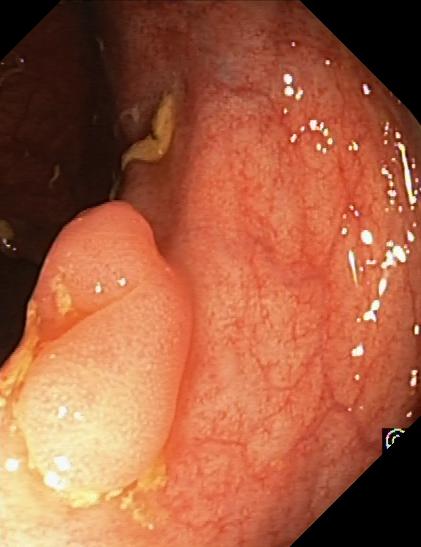Colonoscopy — colorectal polyp(s).